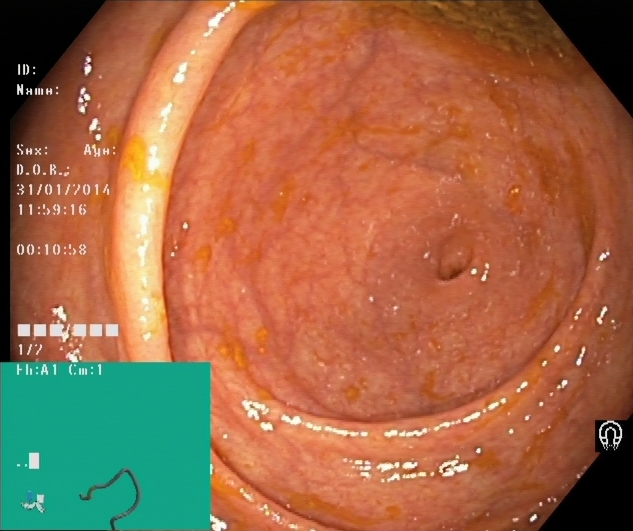modality: lower gastrointestinal endoscopy; finding: cecum